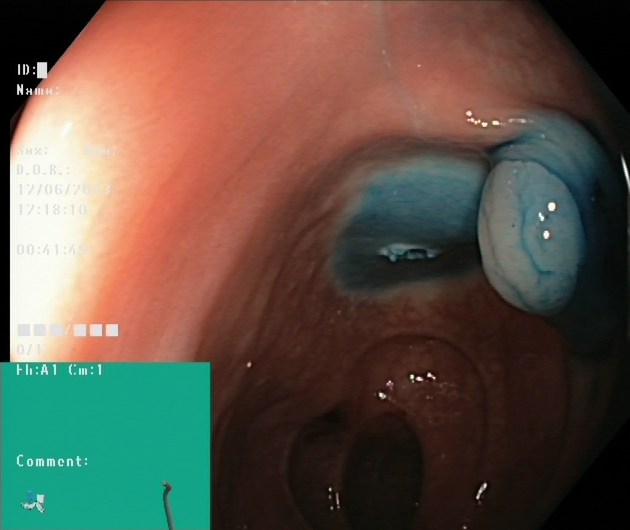{"modality": "colonoscopy", "tract": "lower GI tract", "finding": "dyed and lifted polyp (pre-resection)"}